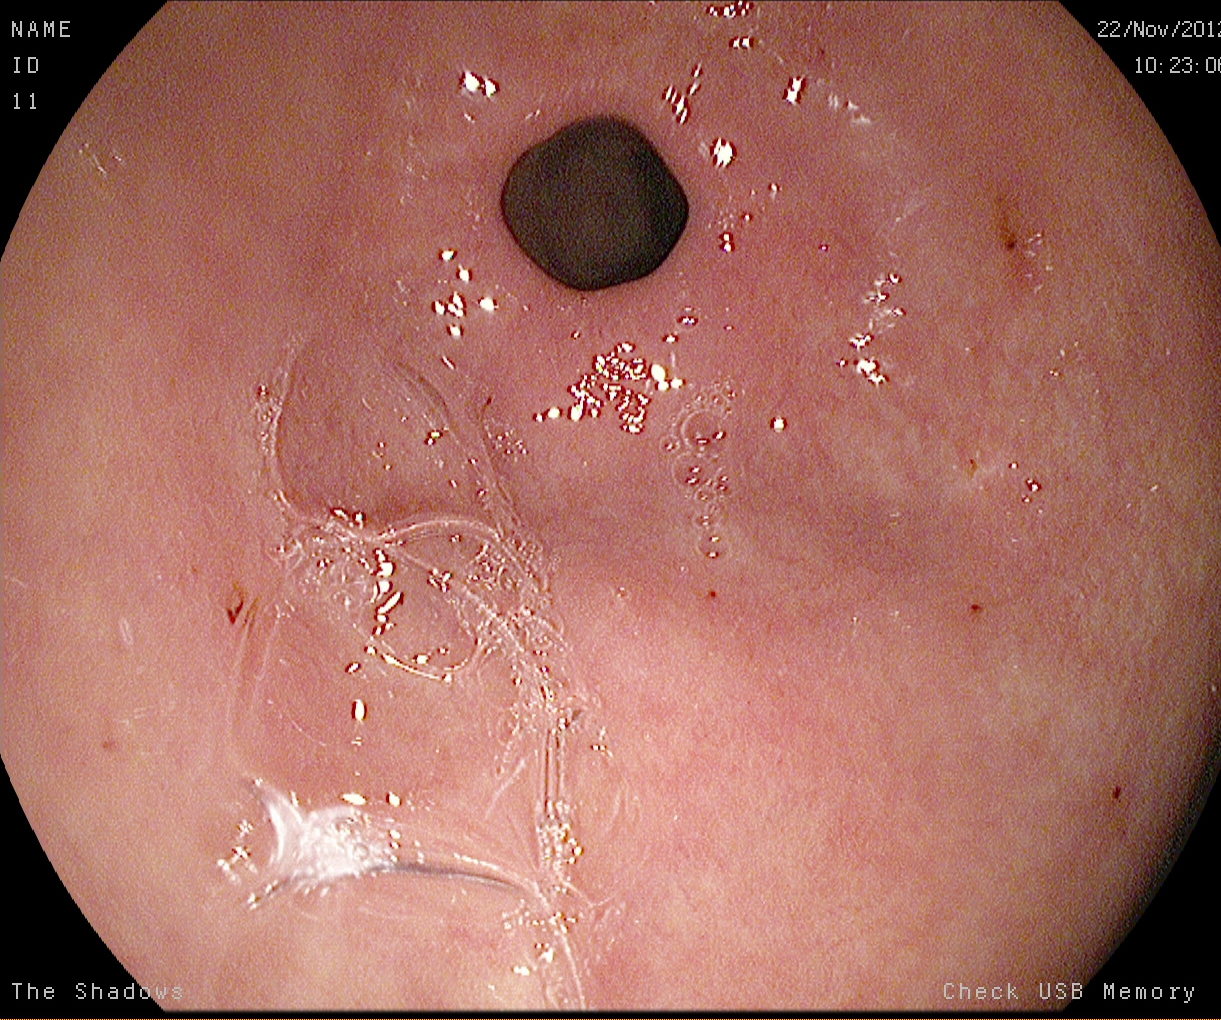Gastroscopy. Anatomical landmark. Finding: pylorus.